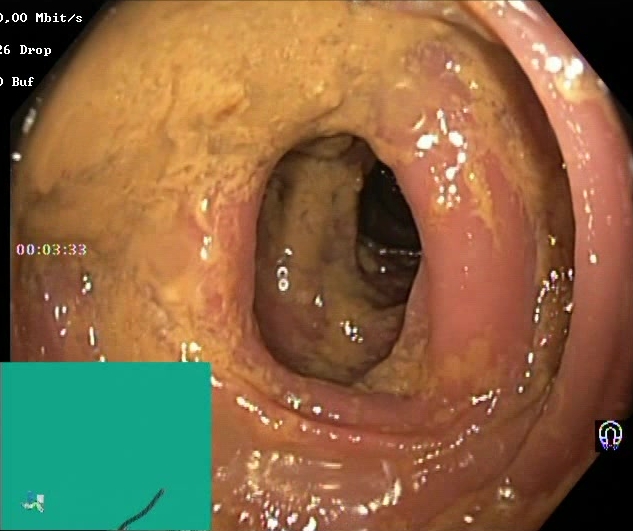This endoscopy frame shows Boston Bowel Preparation Scale score 0–1 (inadequate preparation).